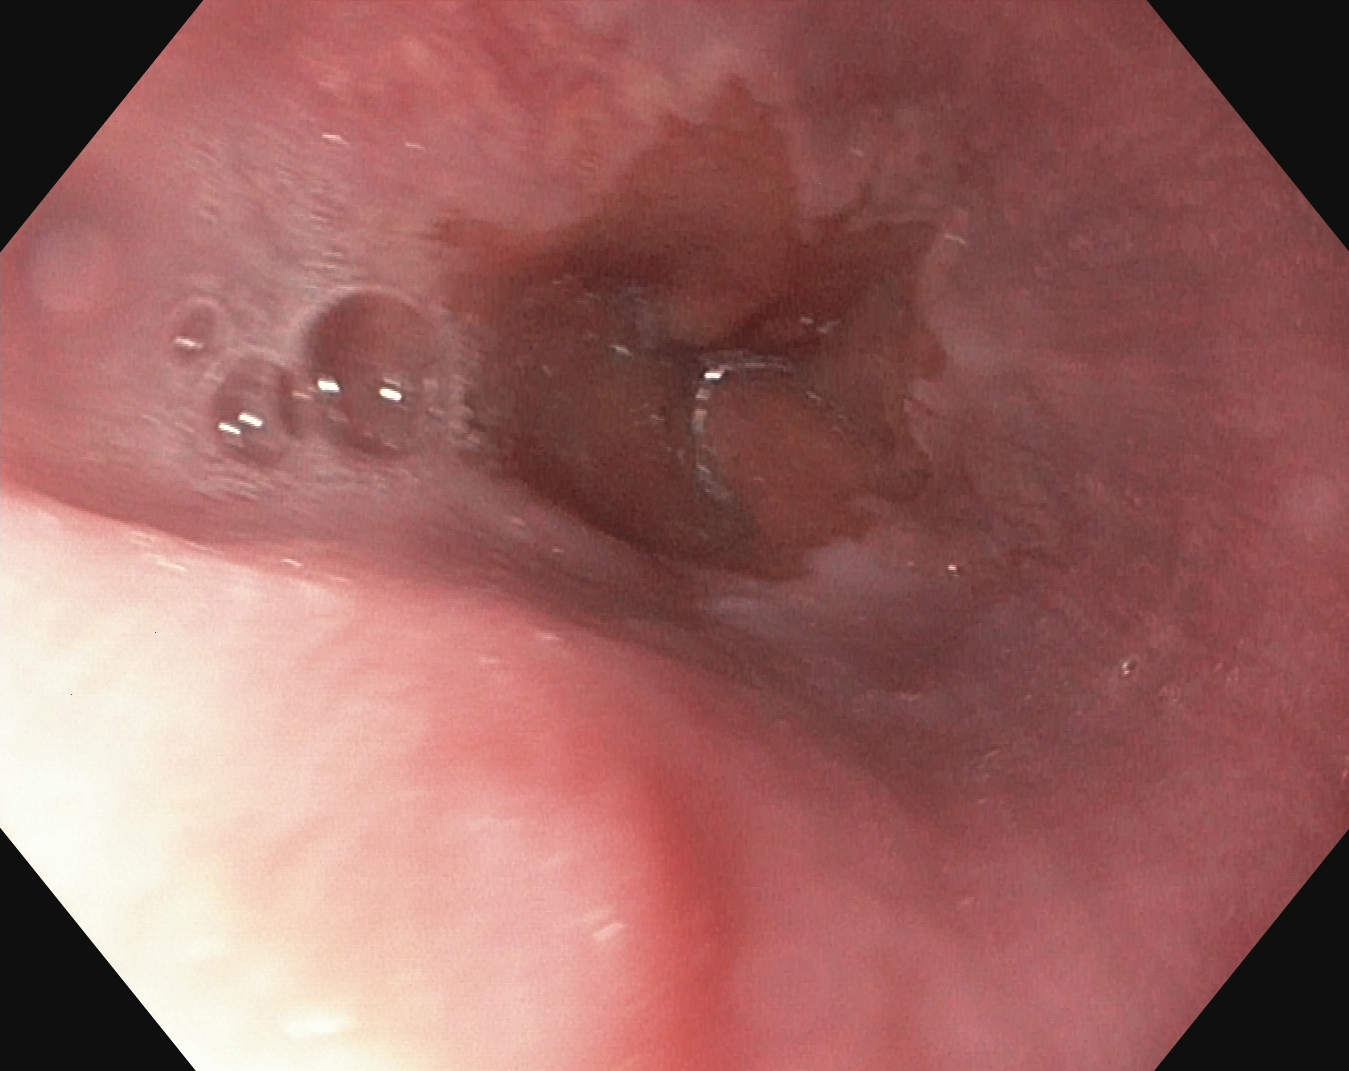This endoscopy frame shows Z-line (gastroesophageal junction).